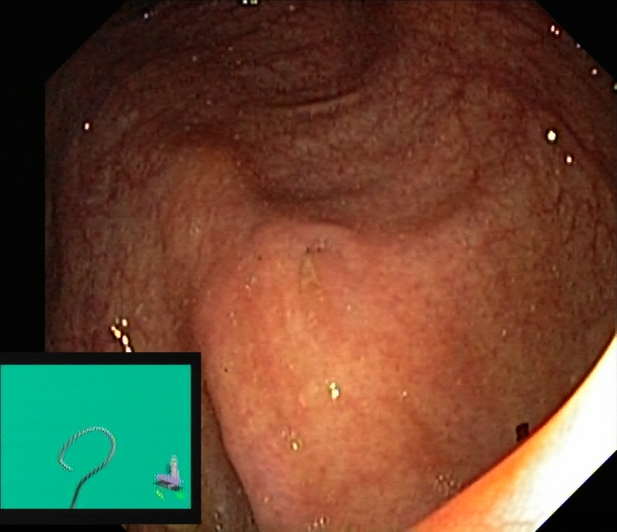{"modality": "colonoscopy", "finding": "cecum"}